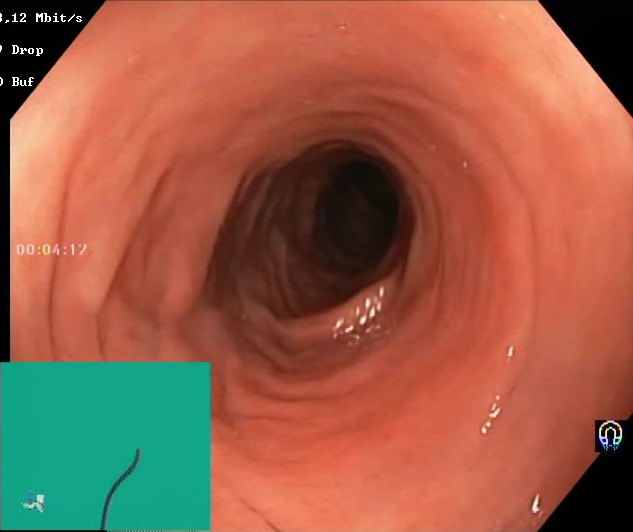Lower gastrointestinal endoscopy — Boston Bowel Preparation Scale score 2–3 (adequate preparation).